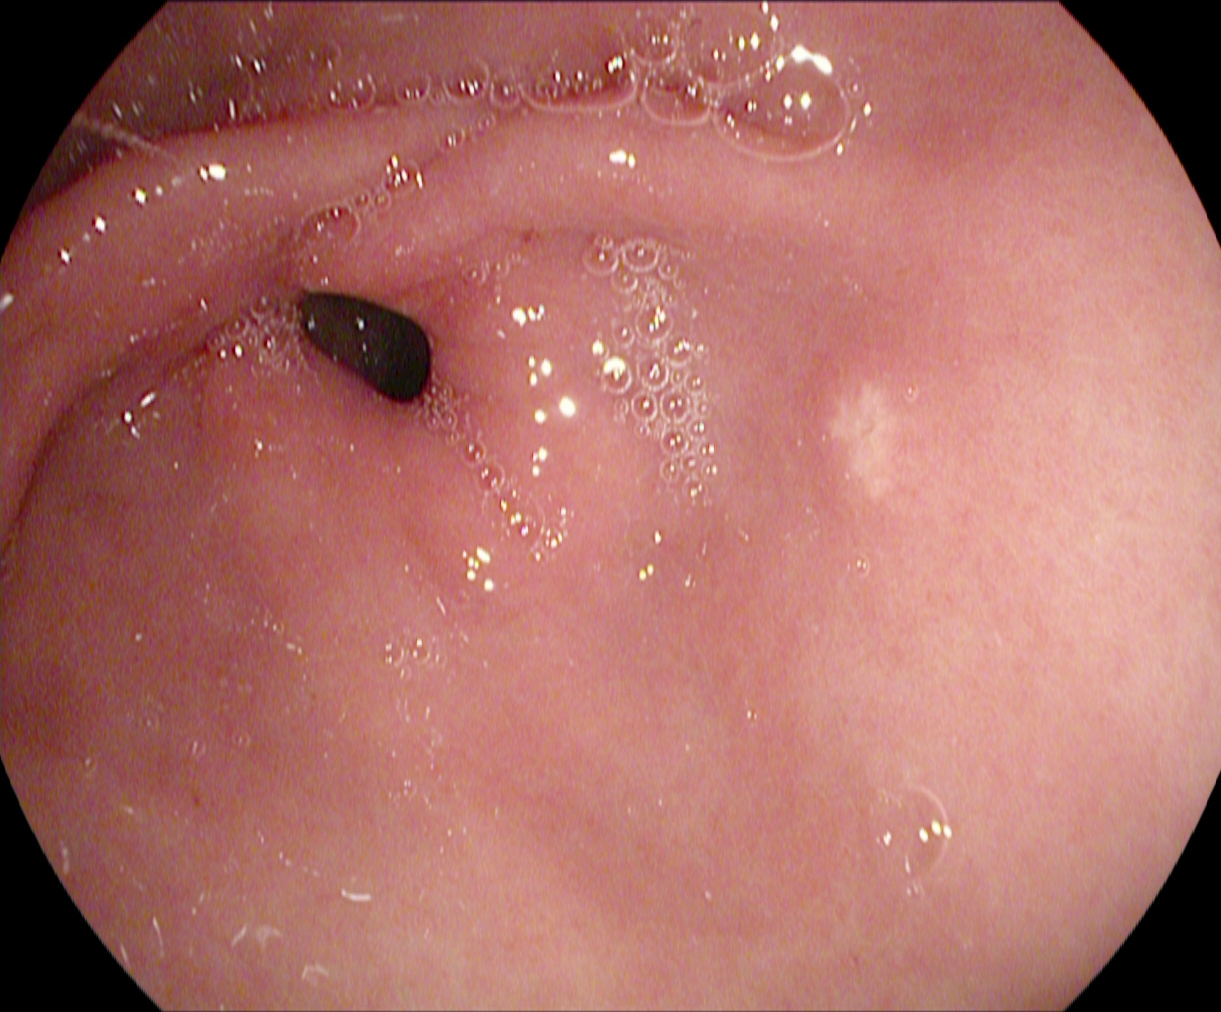This endoscopy frame shows pylorus.